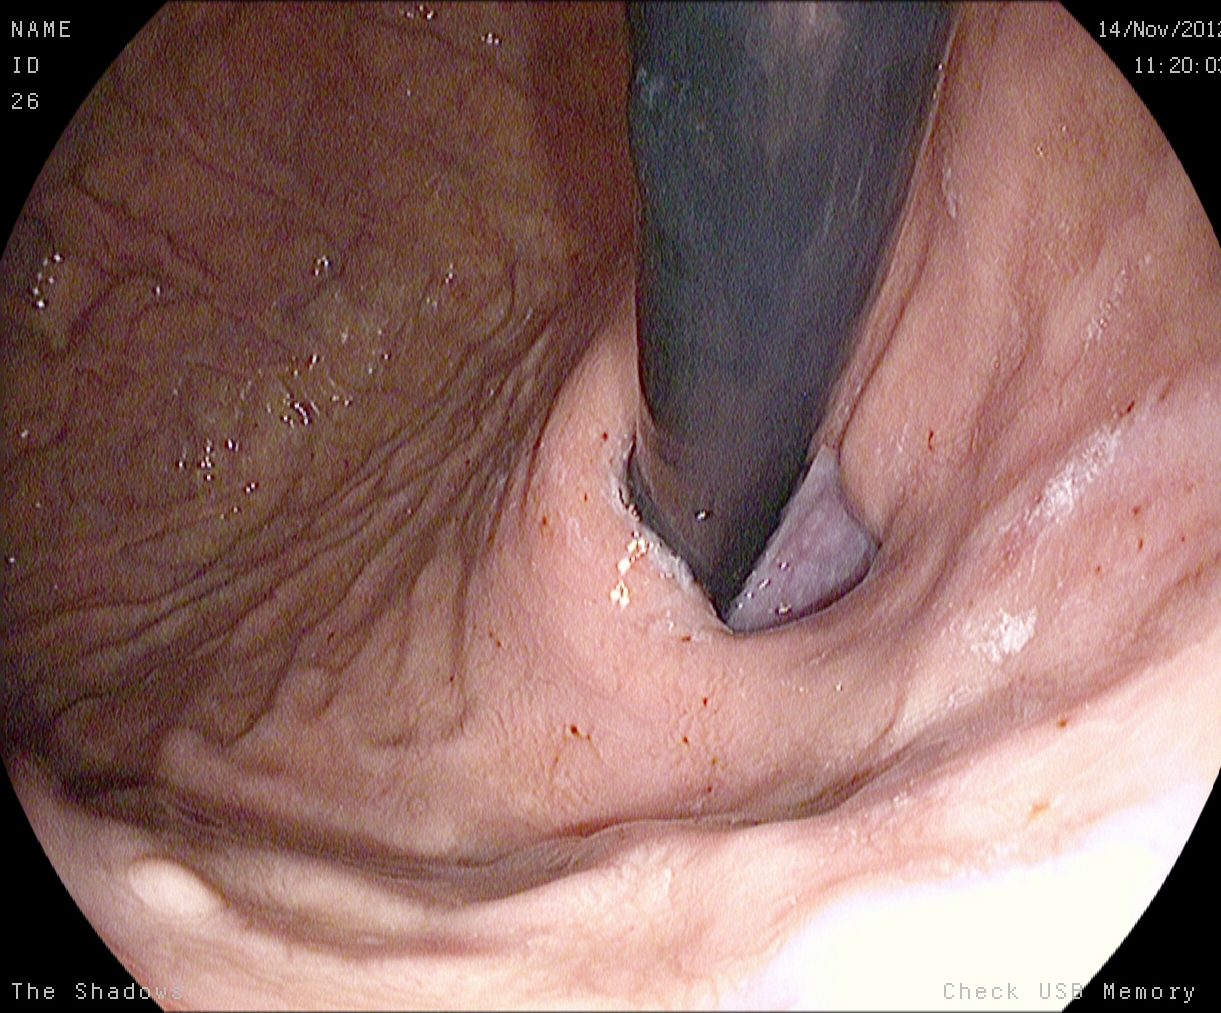Esophagogastroduodenoscopy. Finding: stomach in retroflexion.